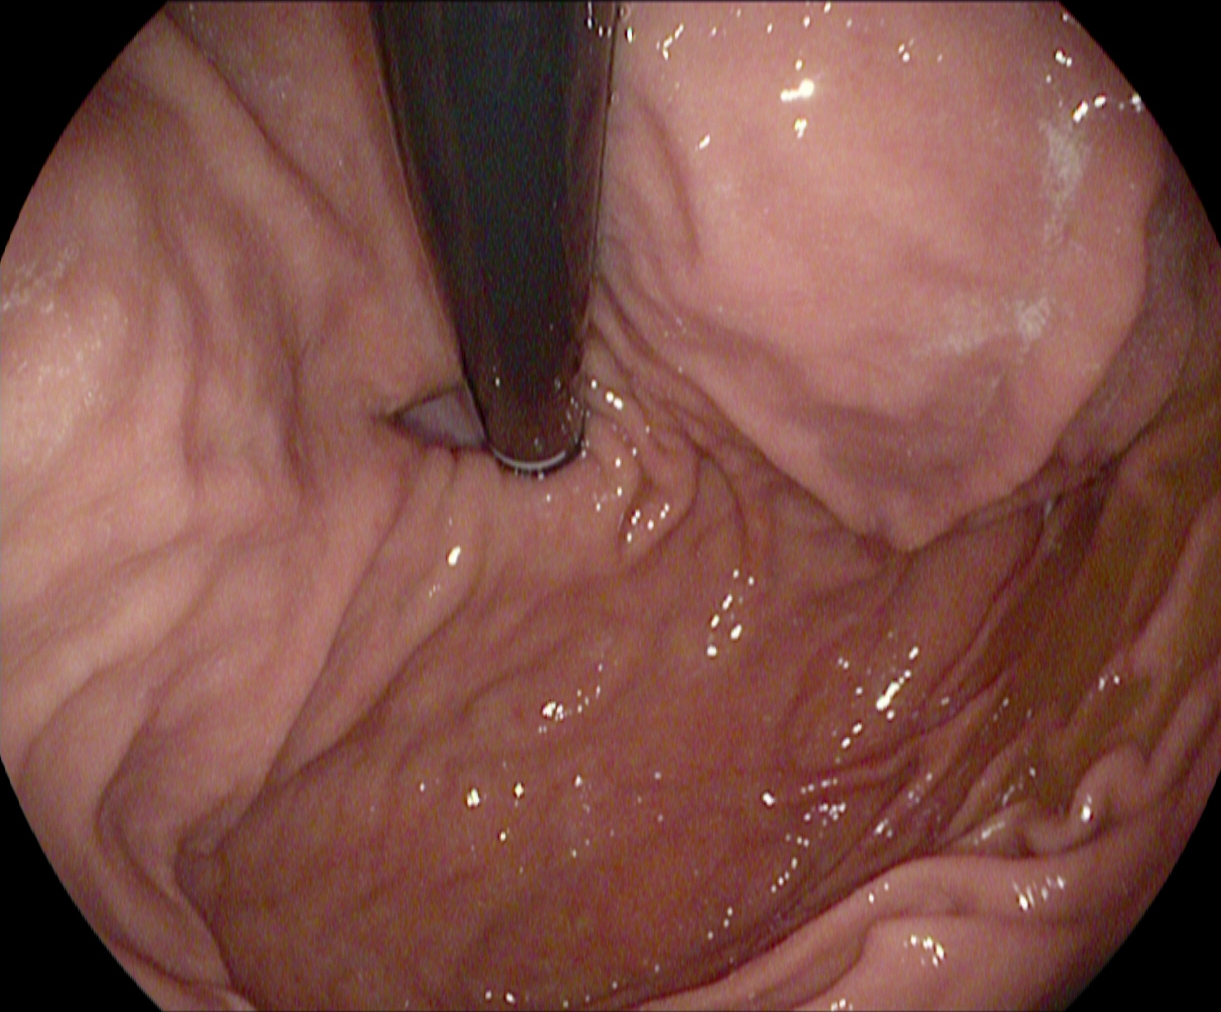EGD — stomach in retroflexion.